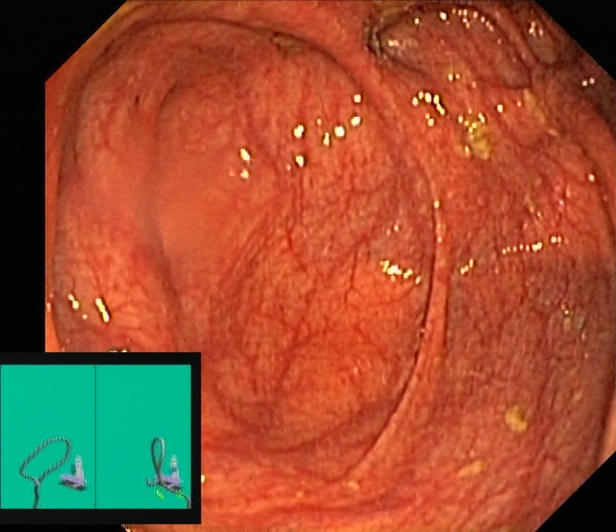modality: lower-GI endoscopy | finding: cecum